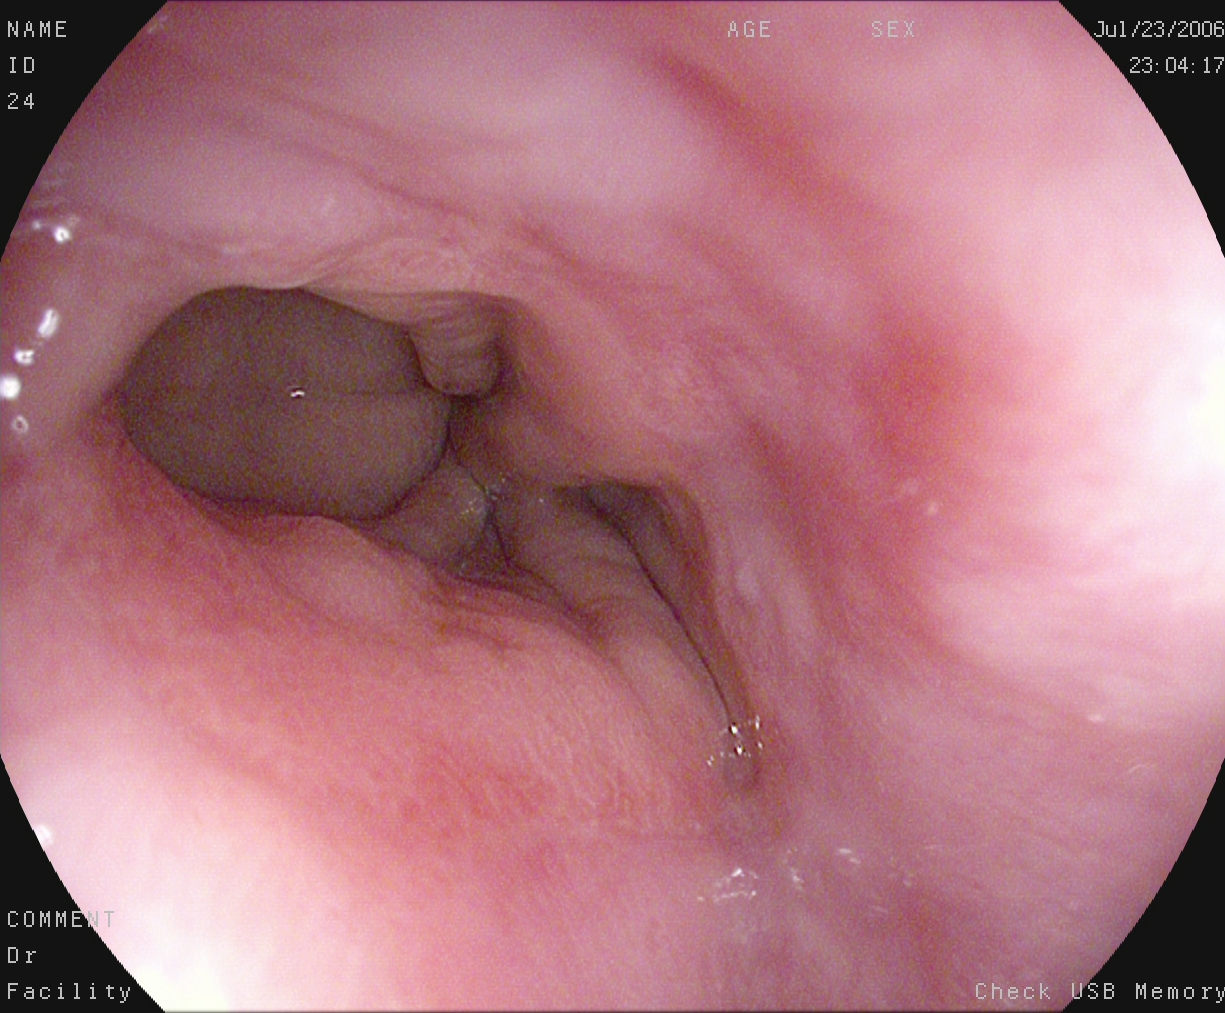PROCEDURE: EGD.
FINDINGS: Z-line (gastroesophageal junction).